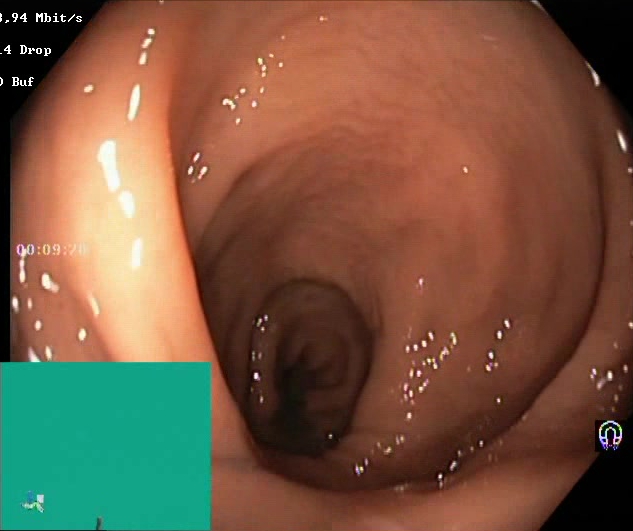Endoscopic image of the lower GI tract showing Boston Bowel Preparation Scale score 2–3 (adequate preparation).